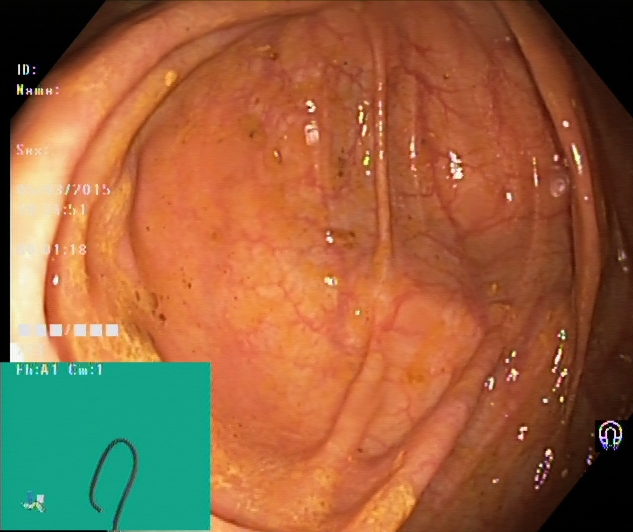Lower gastrointestinal endoscopy. Finding: cecum.